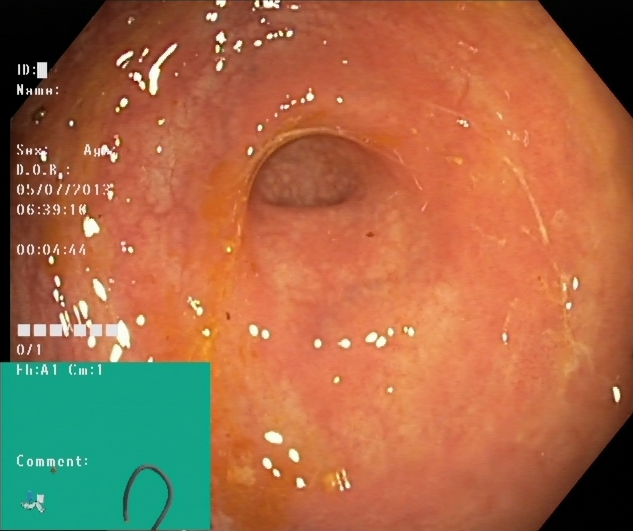Lower gastrointestinal endoscopy — cecum.